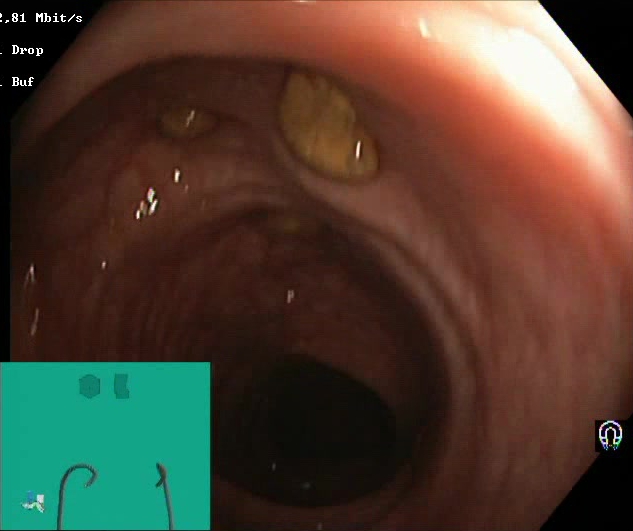This endoscopic image of the lower GI tract shows impacted stool.